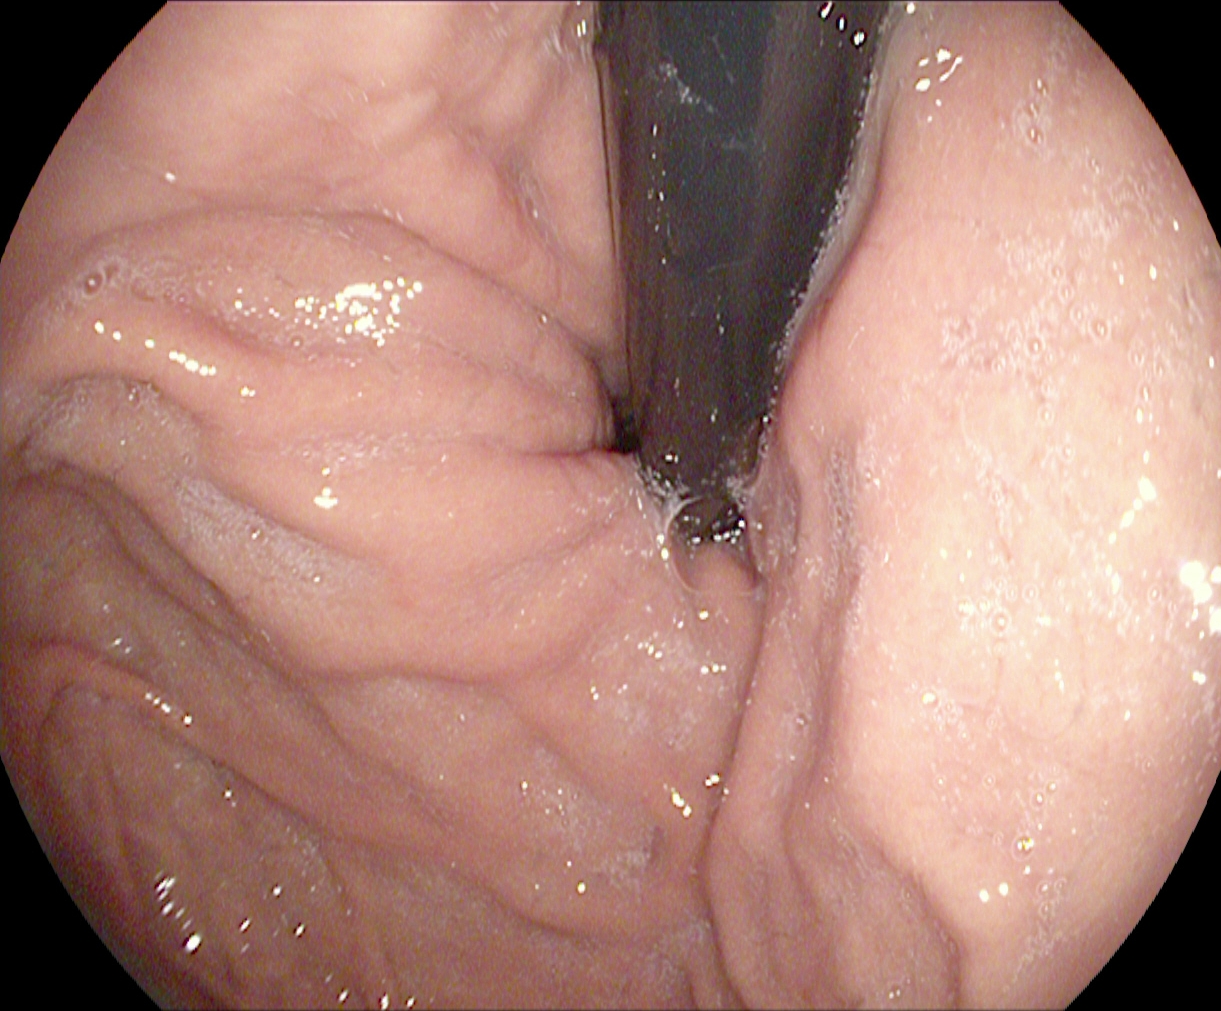modality: esophagogastroduodenoscopy; finding: stomach in retroflexion